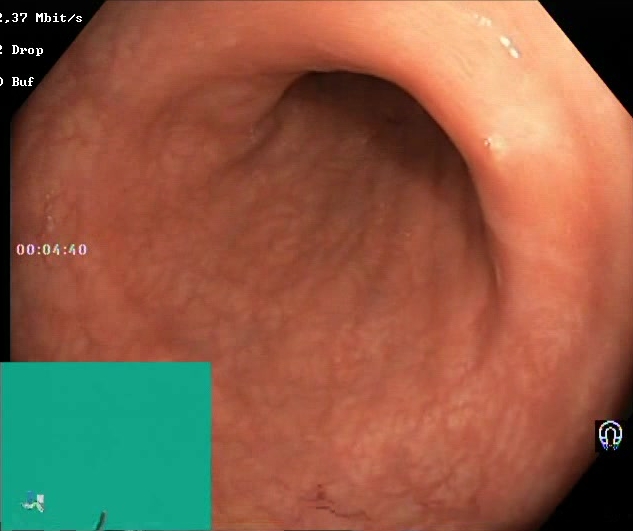This endoscopy frame shows Boston Bowel Preparation Scale score 2–3 (adequate preparation).